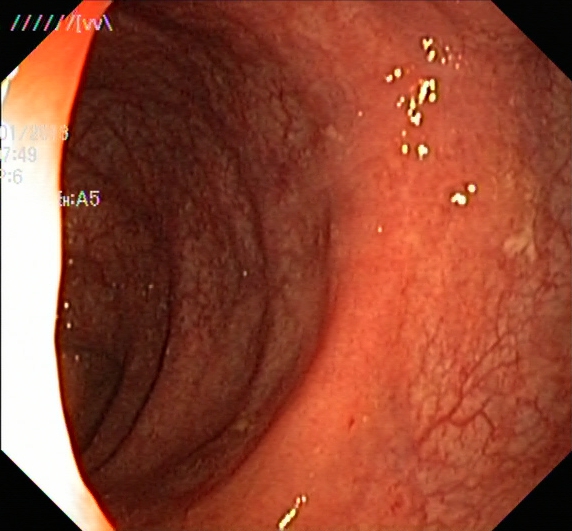Ulcerative colitis, Mayo endoscopic subscore 1.